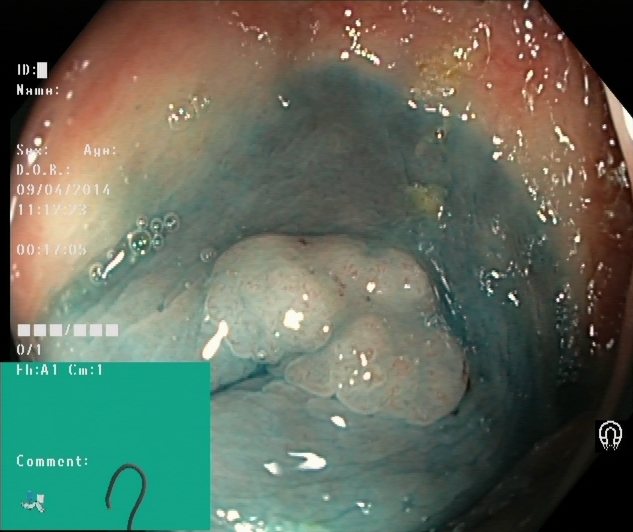Lower-GI endoscopy. Therapeutic intervention. Finding: dyed and lifted polyp (pre-resection).